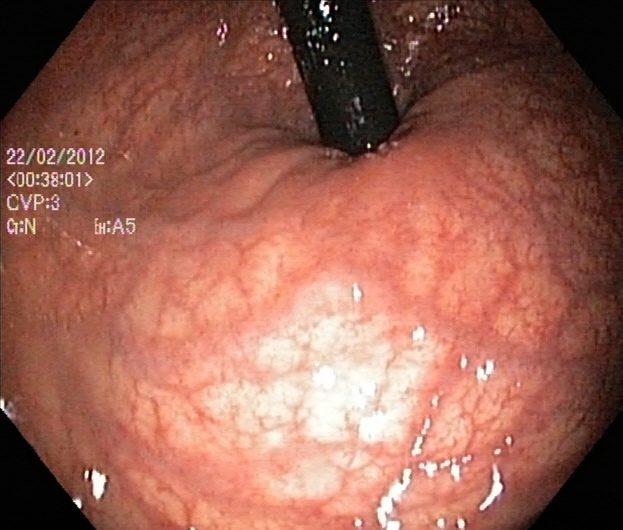{"modality": "lower gastrointestinal endoscopy", "category": "anatomical landmark", "finding": "rectum in retroflexion"}